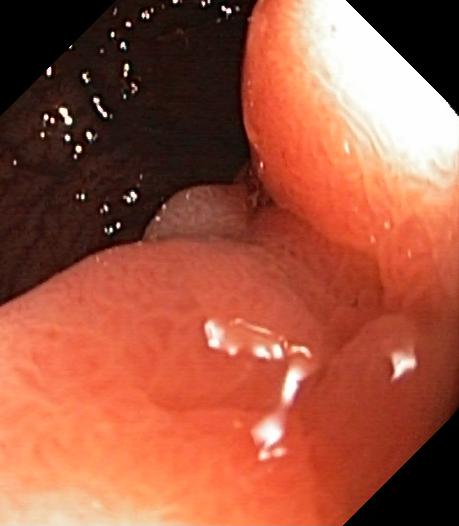Lower gastrointestinal endoscopy. Finding: colorectal polyp(s).